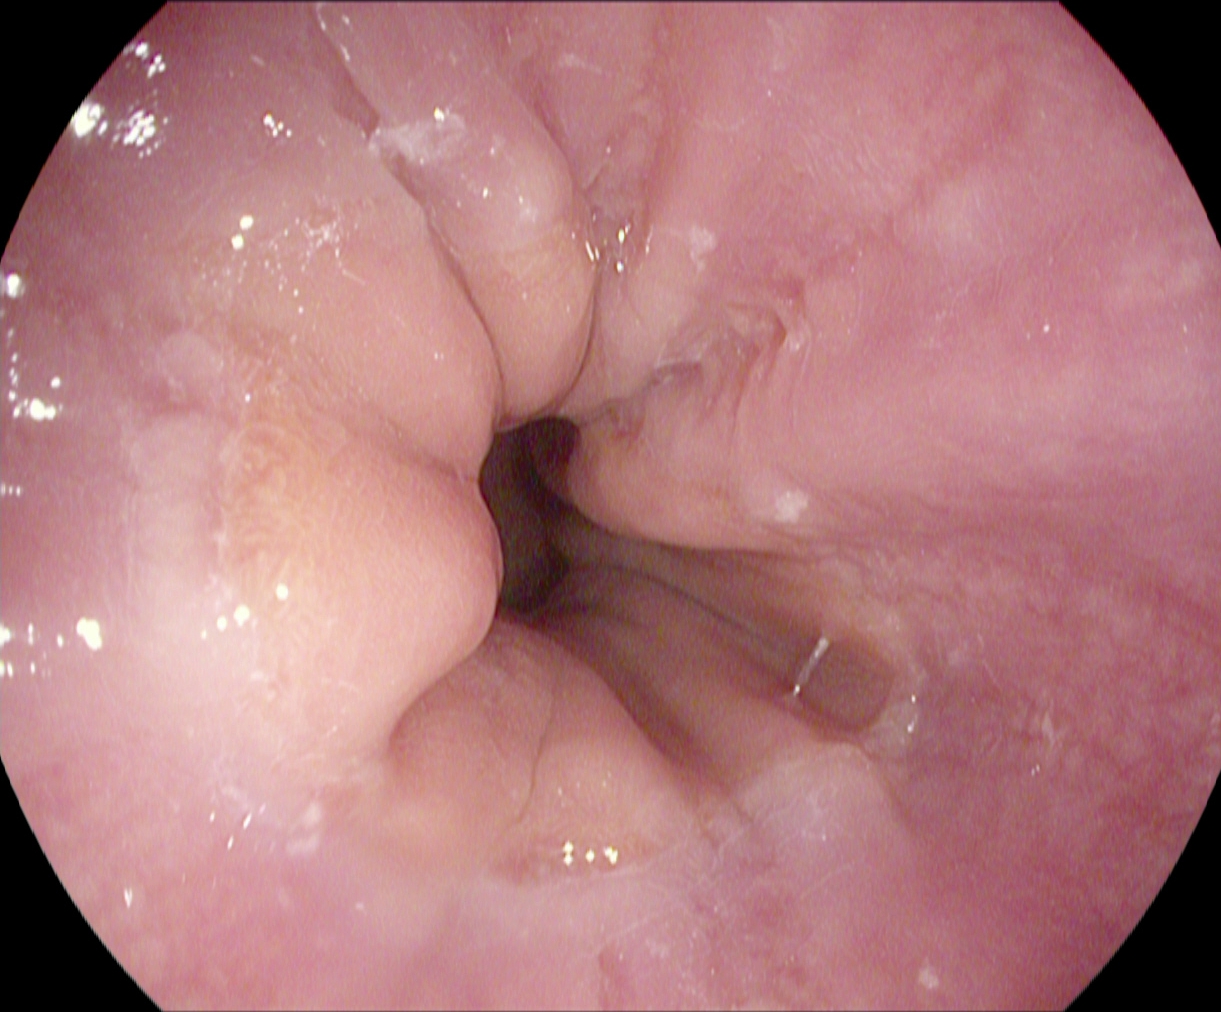modality: gastroscopy | finding: Z-line (gastroesophageal junction)